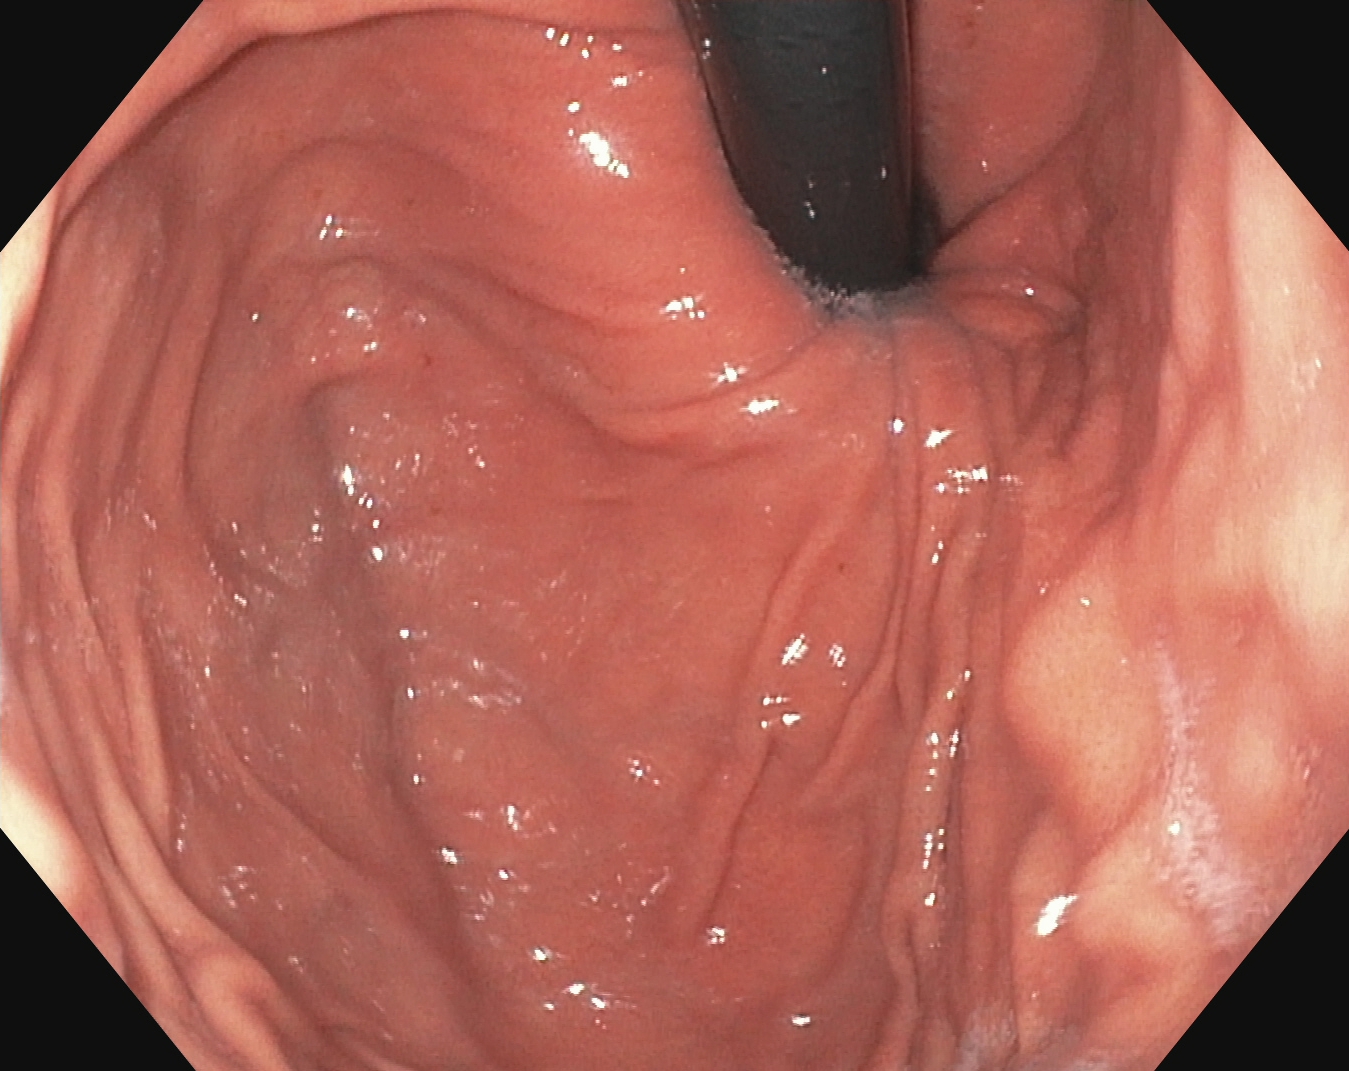modality: gastroscopy
tract: upper GI tract
category: anatomical landmark
finding: stomach in retroflexion